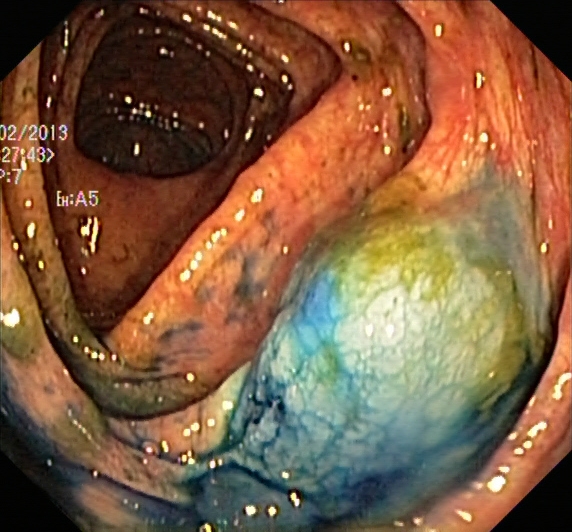modality: lower-GI endoscopy
tract: lower GI tract
category: therapeutic intervention
finding: dyed and lifted polyp (pre-resection)